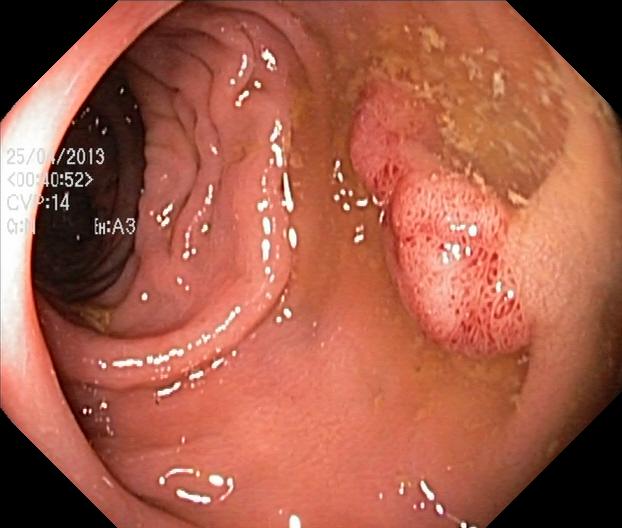Lower-GI endoscopy — colorectal polyp(s).